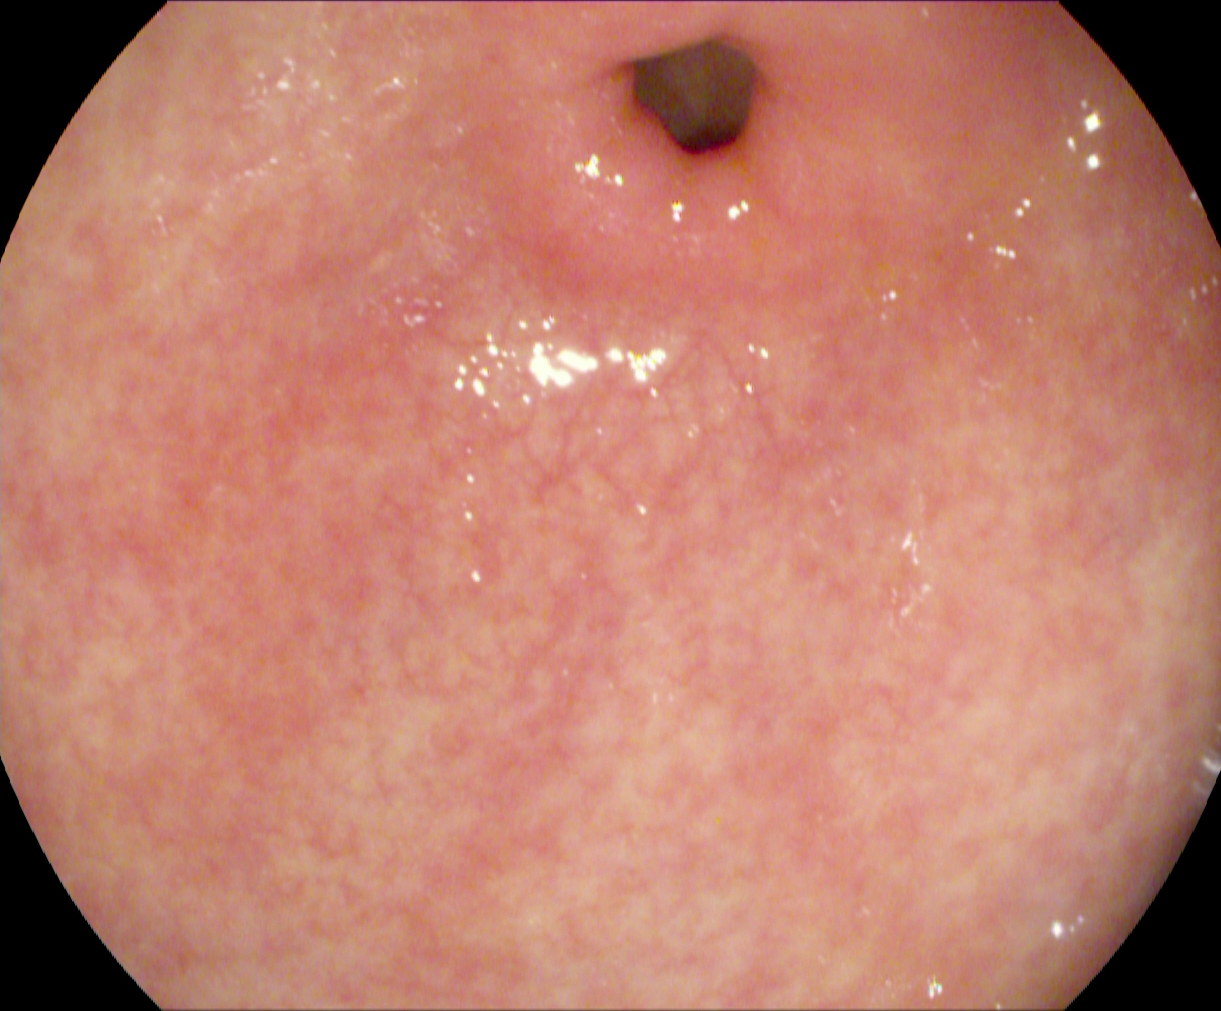PROCEDURE: Gastroscopy.
CATEGORY: Anatomical landmark.
FINDINGS: Pylorus.